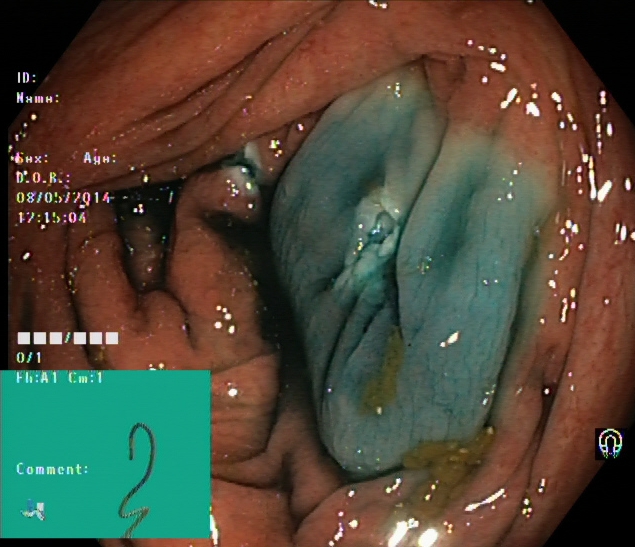Dyed resection margins (post-polypectomy).